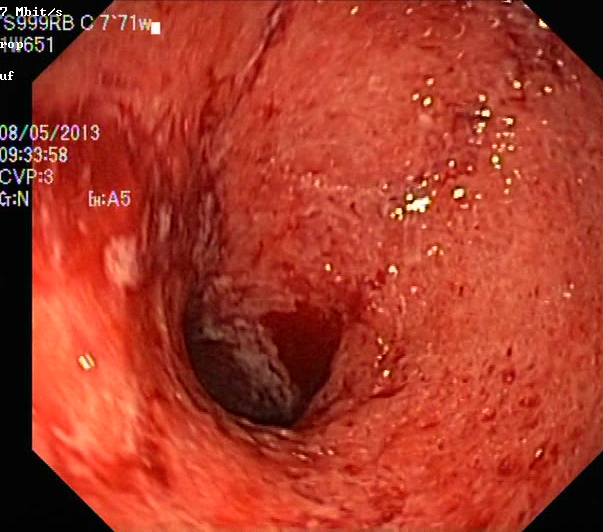UC, Mayo endoscopic subscore 3.